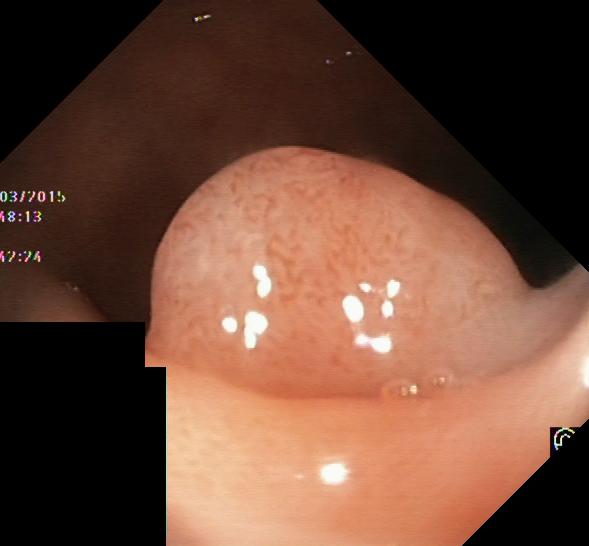Colorectal polyp(s).